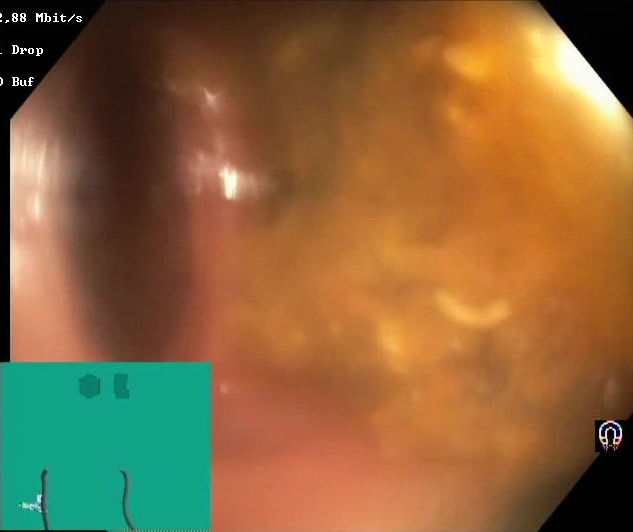This endoscopy frame shows BBPS score 0–1 (inadequate preparation).